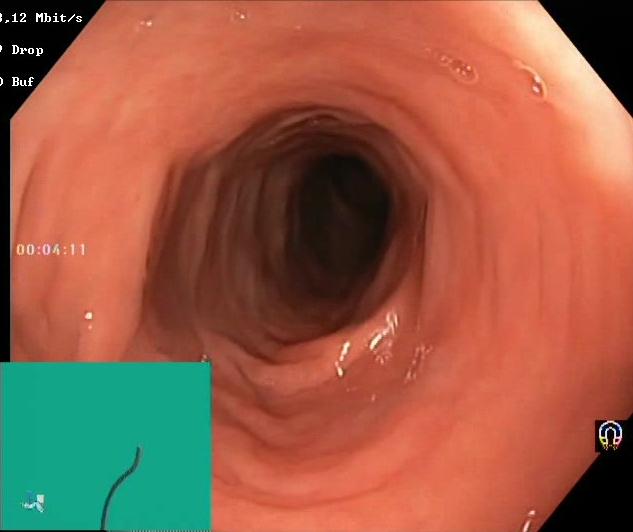Boston Bowel Preparation Scale score 2–3 (adequate preparation).